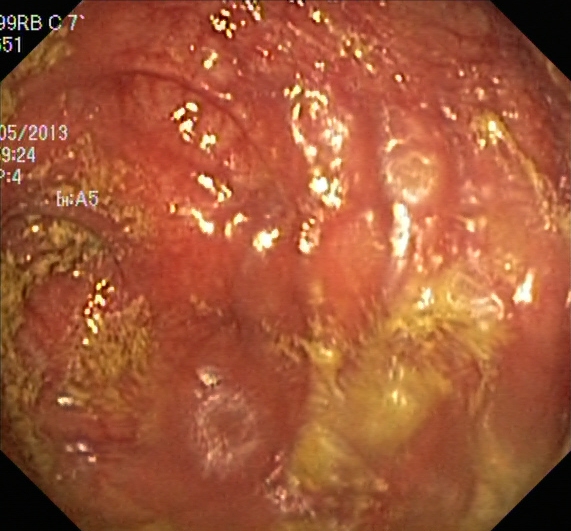{"modality": "lower gastrointestinal endoscopy", "category": "pathological finding", "finding": "ulcerative colitis, Mayo endoscopic subscore 1"}